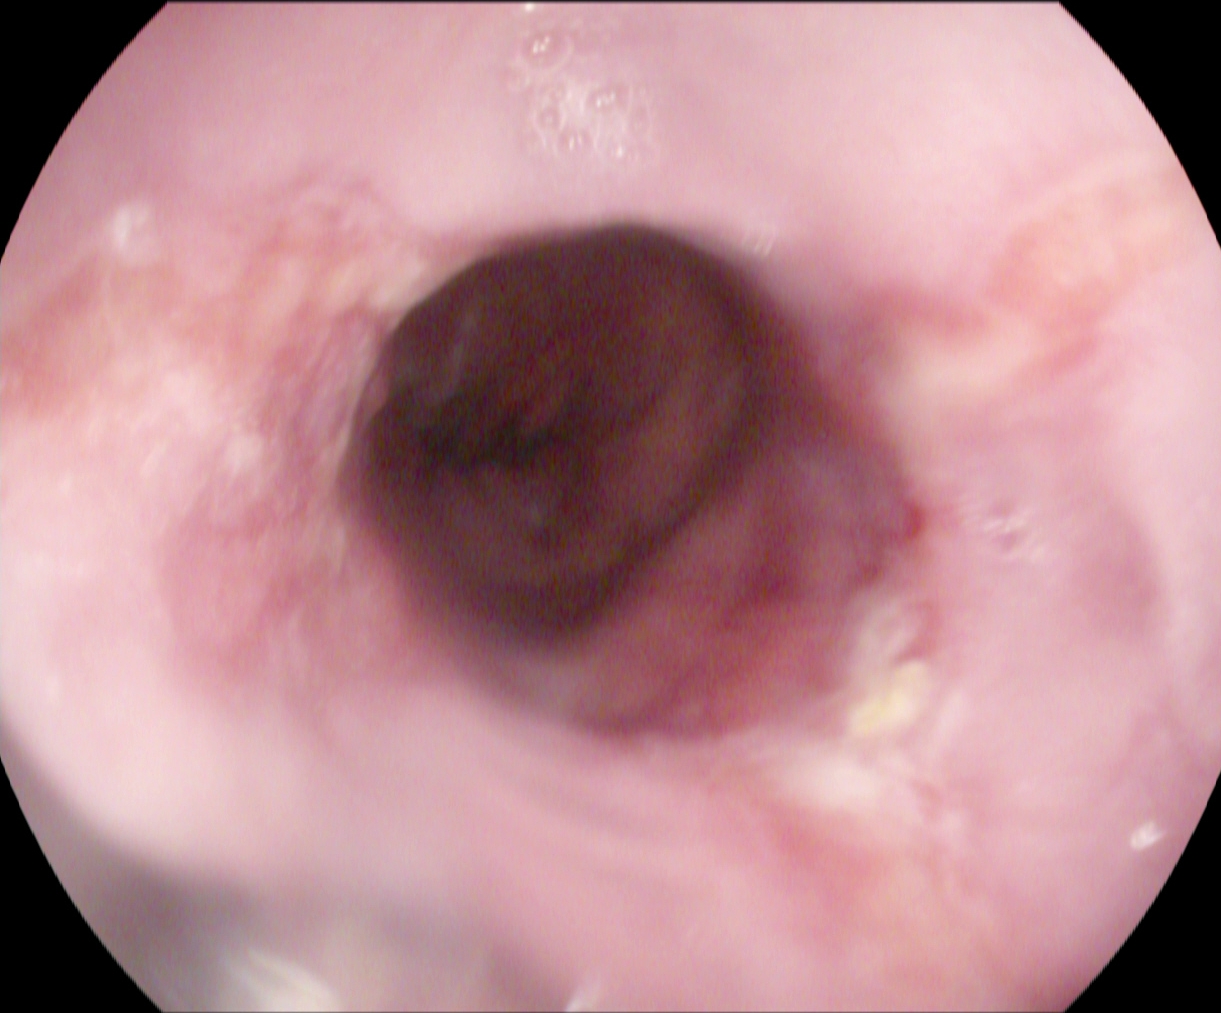Reflux esophagitis, Los Angeles grade B–D.